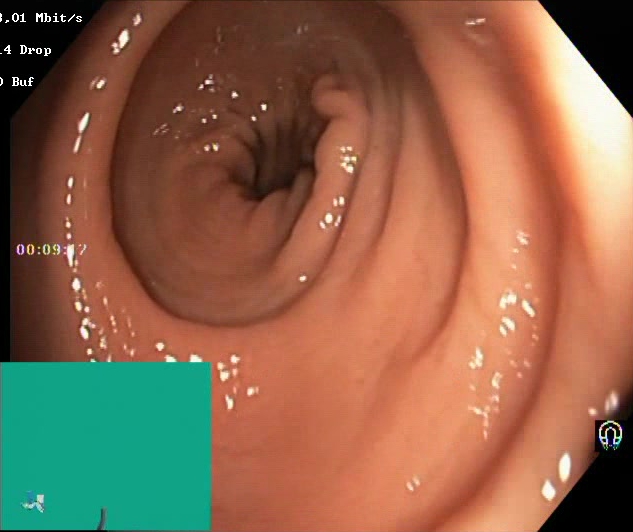This endoscopic image shows Boston Bowel Preparation Scale score 2–3 (adequate preparation).